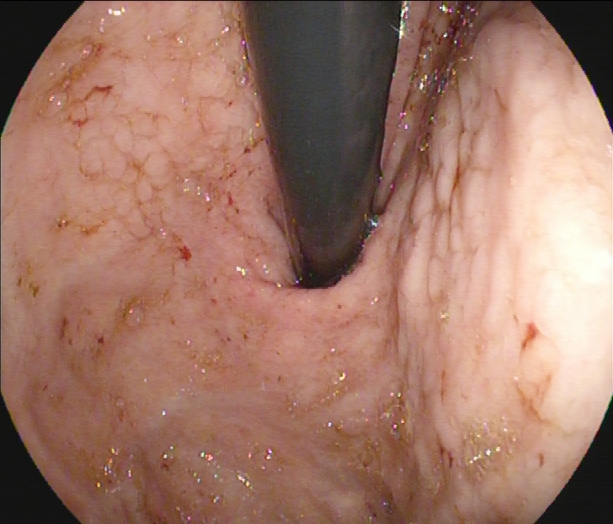{"modality": "esophagogastroduodenoscopy", "finding": "stomach in retroflexion"}